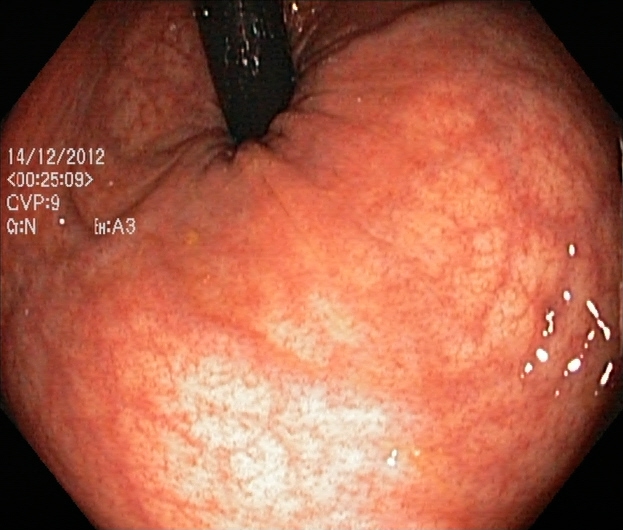Colonoscopy image of the lower GI tract showing rectum in retroflexion.